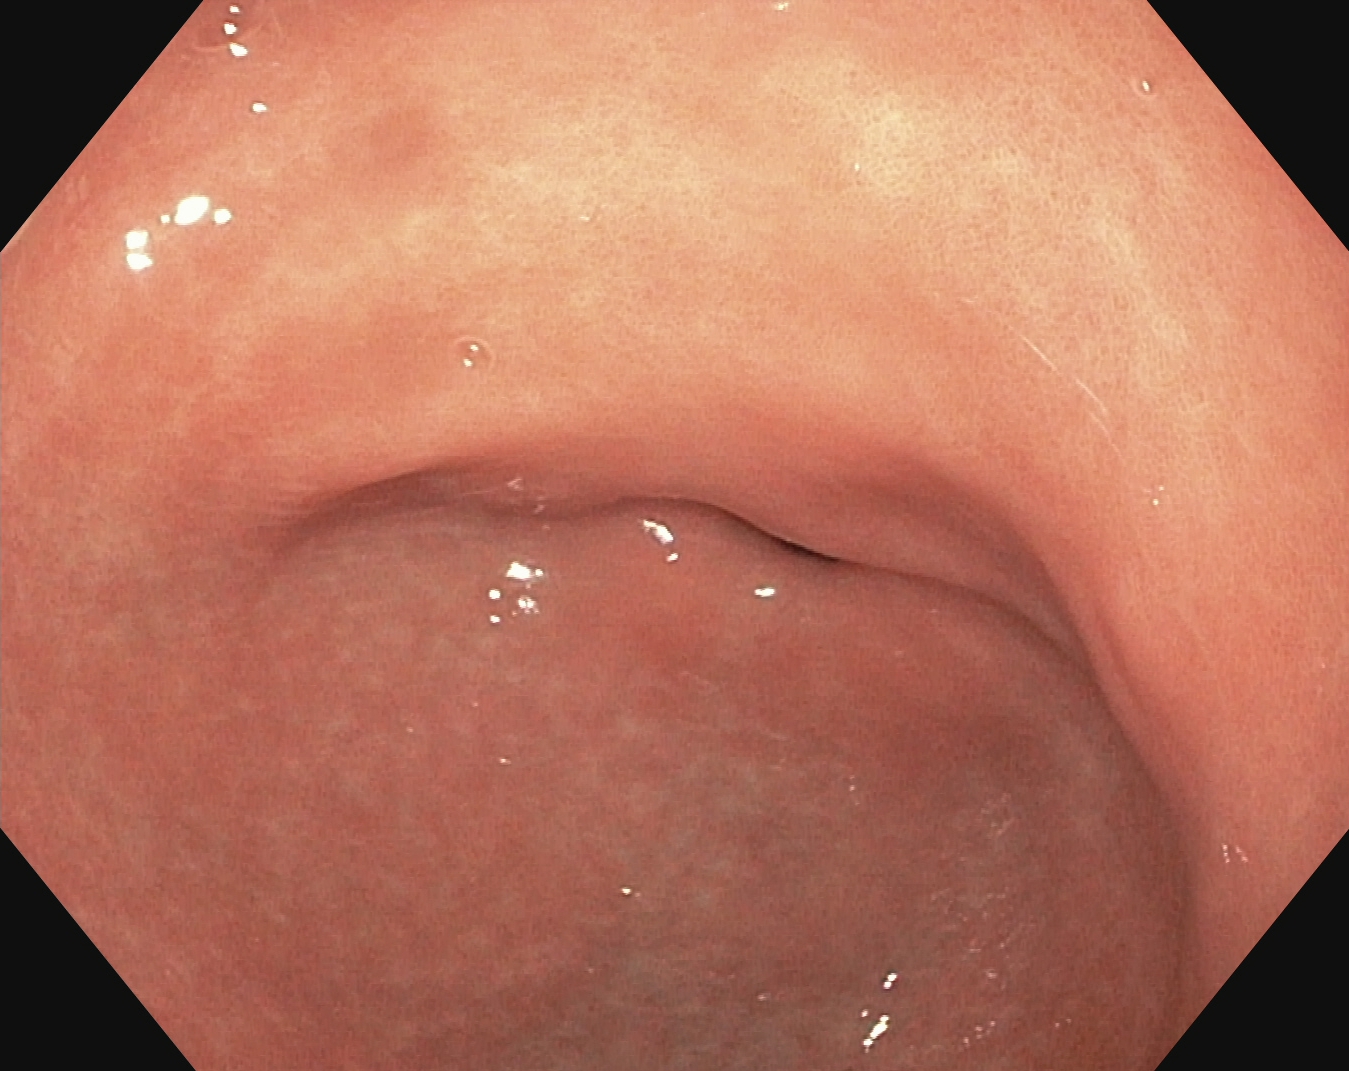Pylorus.